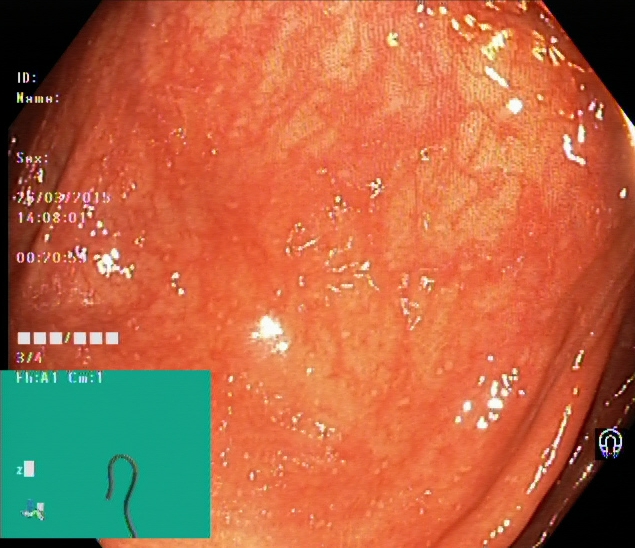Colonoscopy. Tract: lower GI tract. Finding: UC, Mayo endoscopic subscore 1.